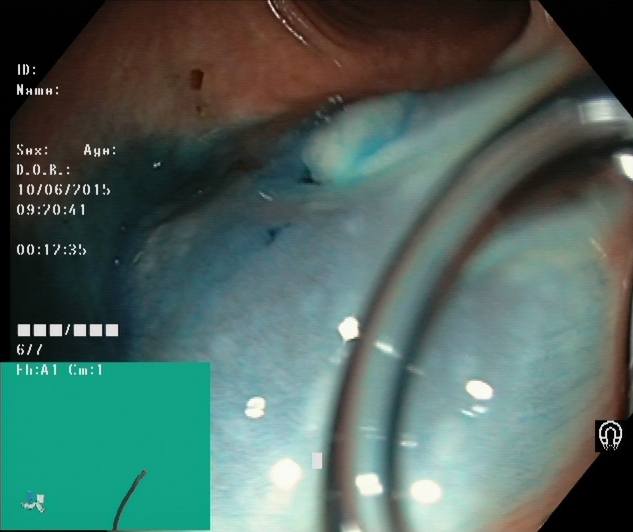modality: lower gastrointestinal endoscopy
category: therapeutic intervention
finding: dyed resection margins (post-polypectomy)